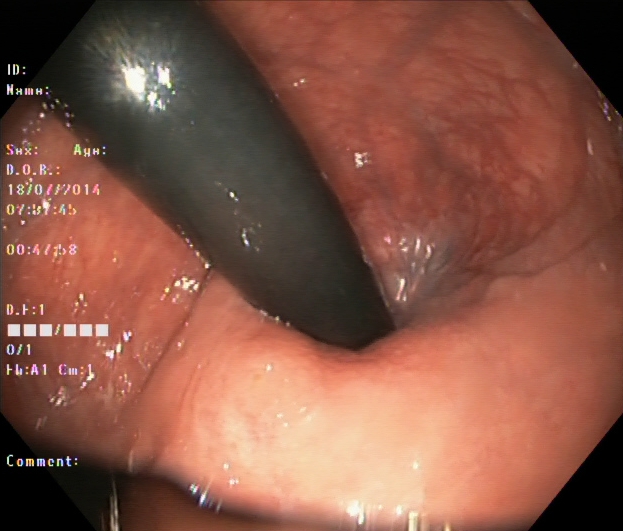Gastroscopy. Finding: stomach in retroflexion.